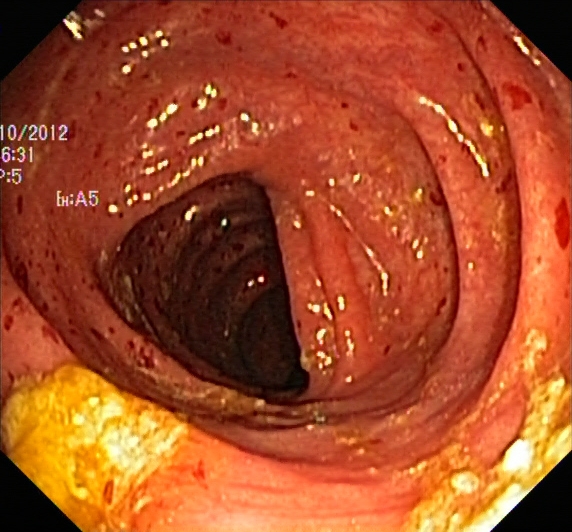UC, Mayo endoscopic subscore 2.